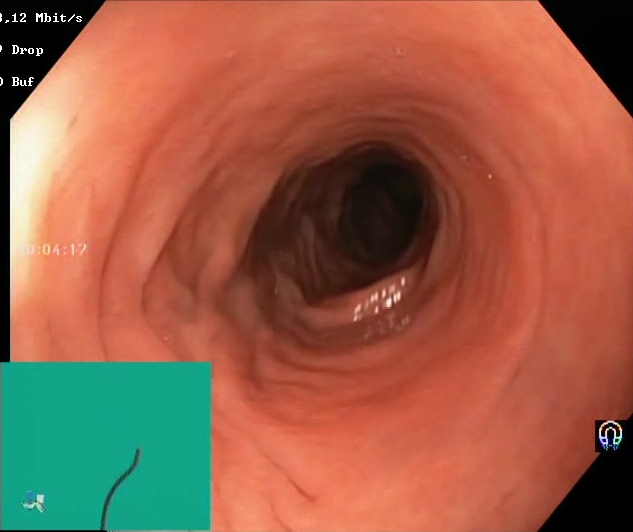Gastrointestinal endoscopy image showing Boston Bowel Preparation Scale score 2–3 (adequate preparation).